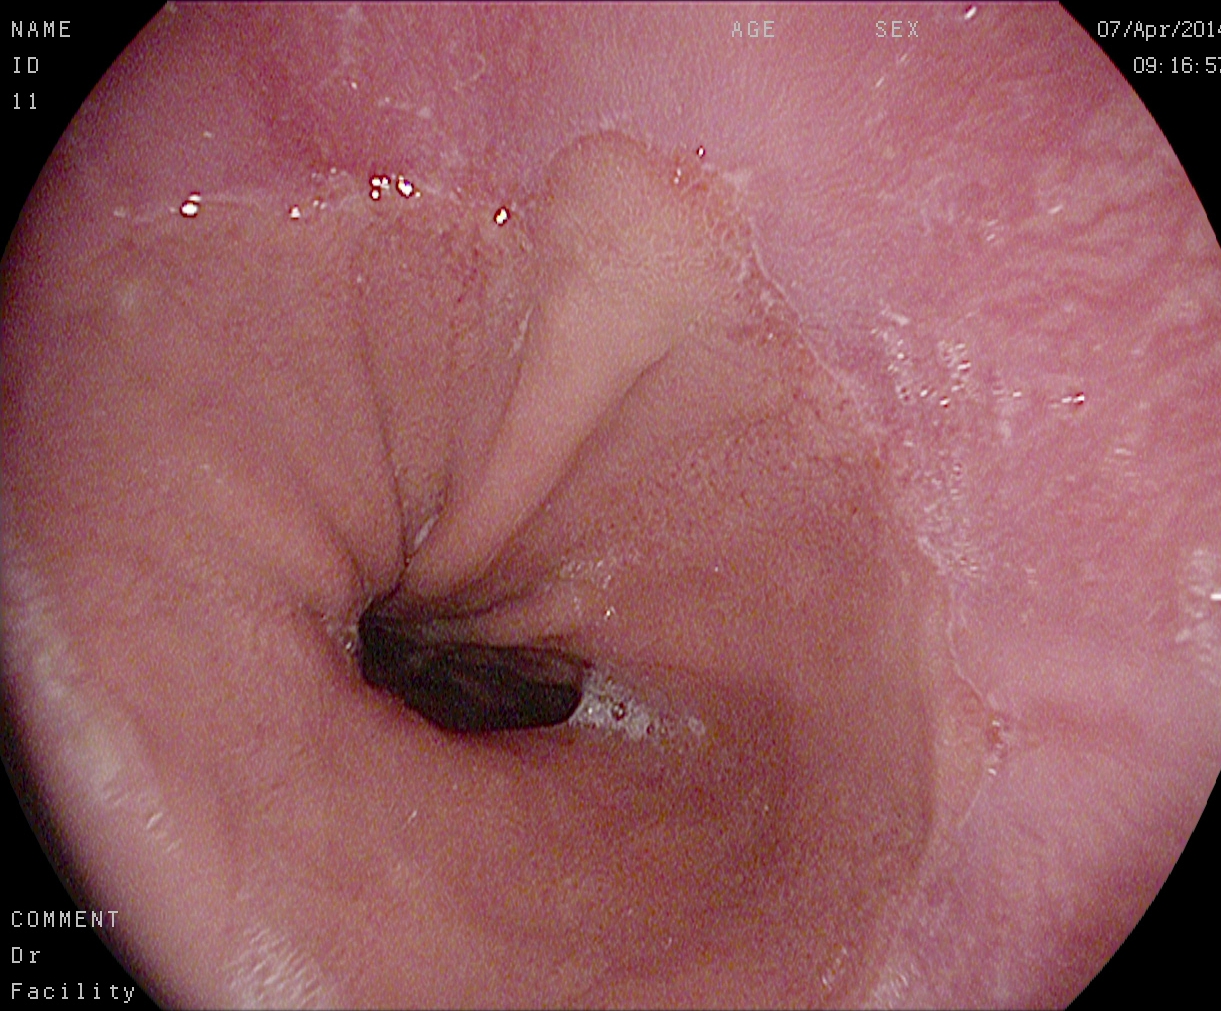EGD. Finding: reflux esophagitis, Los Angeles grade A.